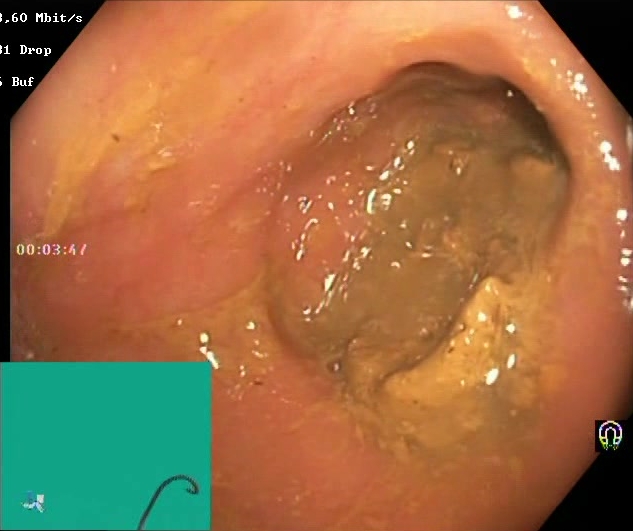{"modality": "lower gastrointestinal endoscopy", "tract": "lower GI tract", "category": "mucosal-view quality", "finding": "Boston Bowel Preparation Scale score 0\u20131 (inadequate preparation)"}